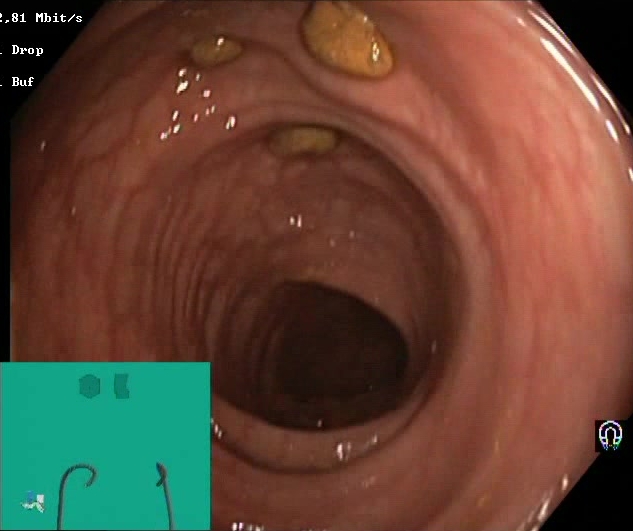modality: lower gastrointestinal endoscopy; category: mucosal-view quality; finding: Boston Bowel Preparation Scale score 2–3 (adequate preparation)